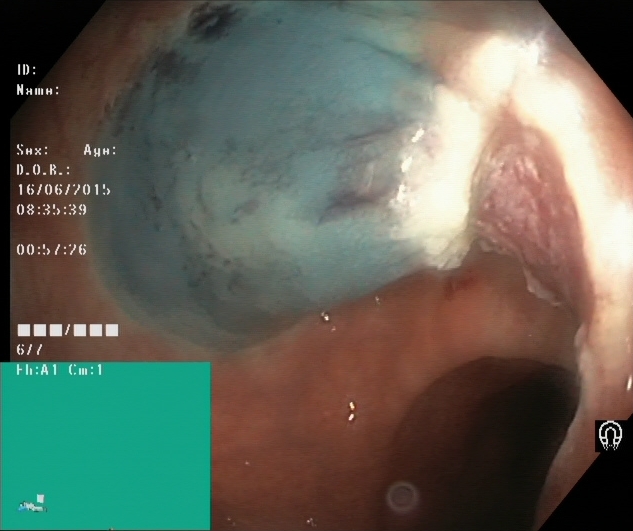dyed resection margins (post-polypectomy).